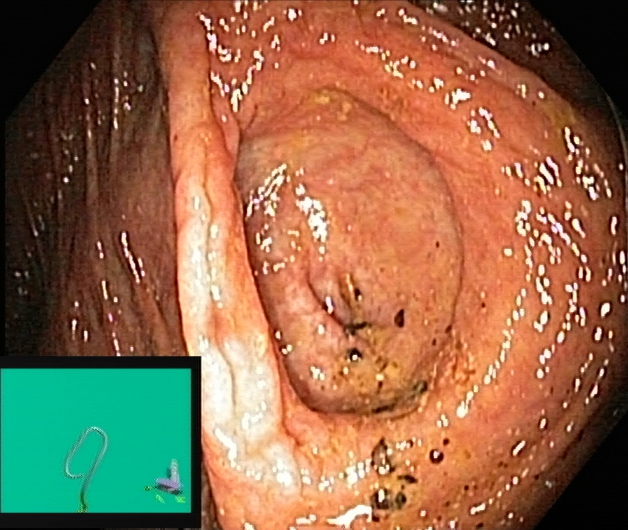PROCEDURE: Lower gastrointestinal endoscopy.
CATEGORY: Anatomical landmark.
FINDINGS: Cecum.